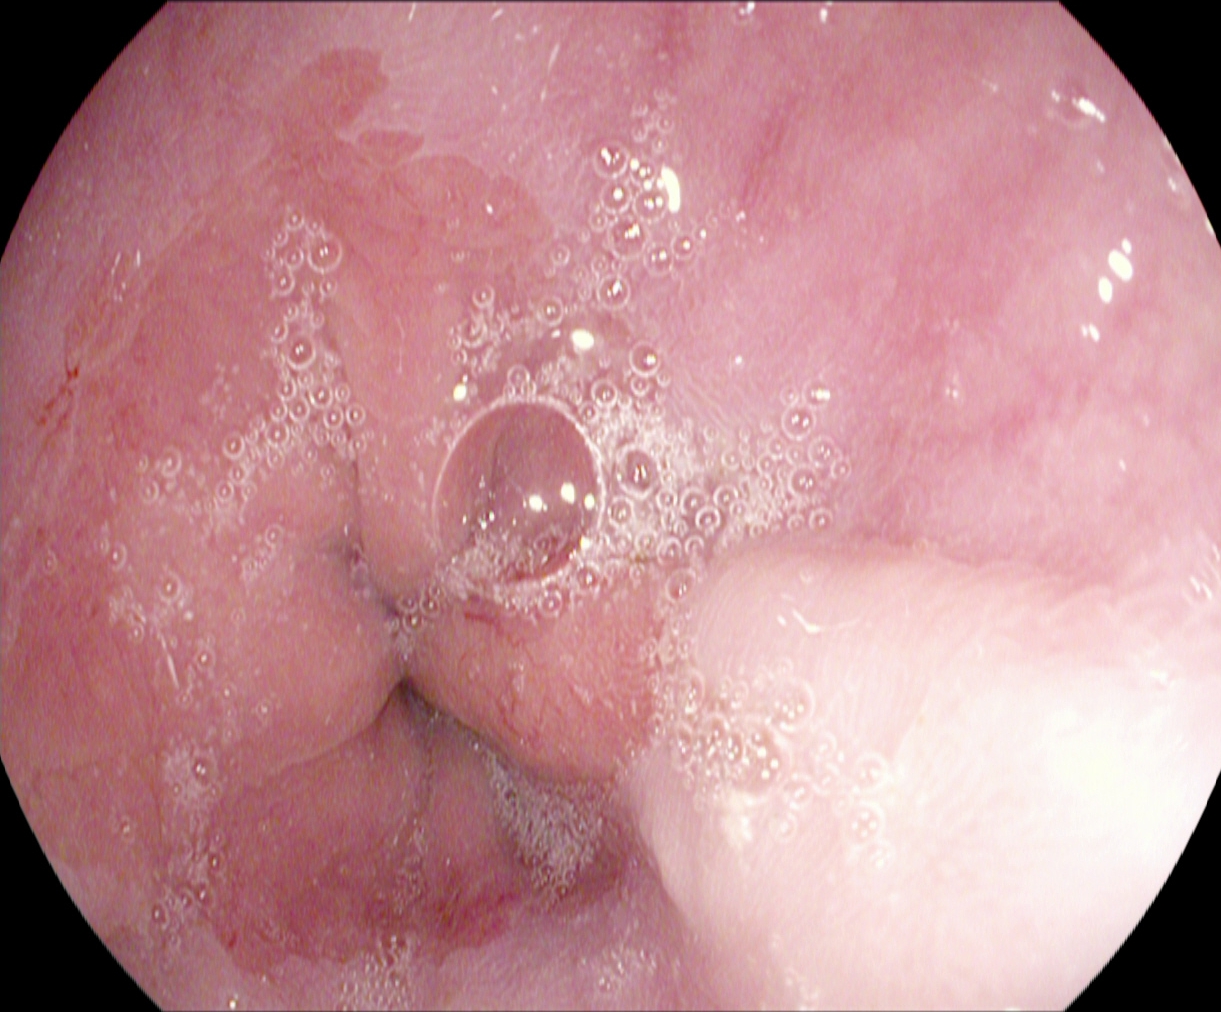Gastroscopy — Z-line (gastroesophageal junction).